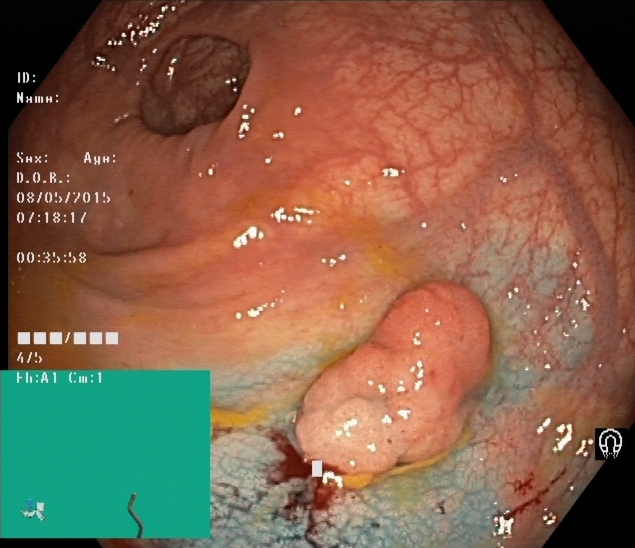Gastrointestinal endoscopy image showing dyed and lifted polyp (pre-resection).